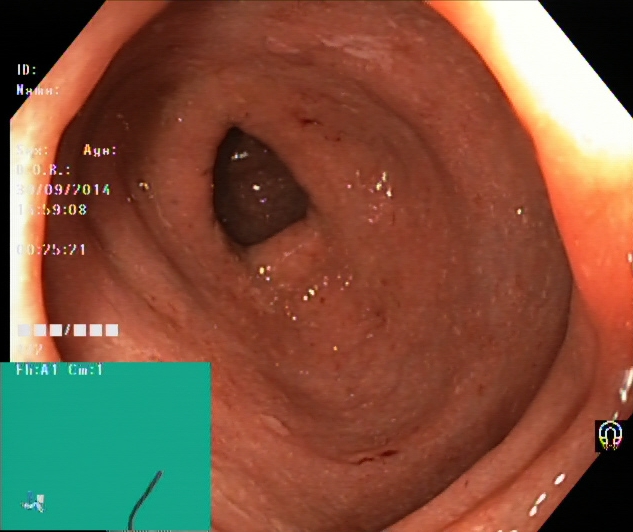Colonoscopy. Finding: ulcerative colitis, Mayo endoscopic subscore 2.